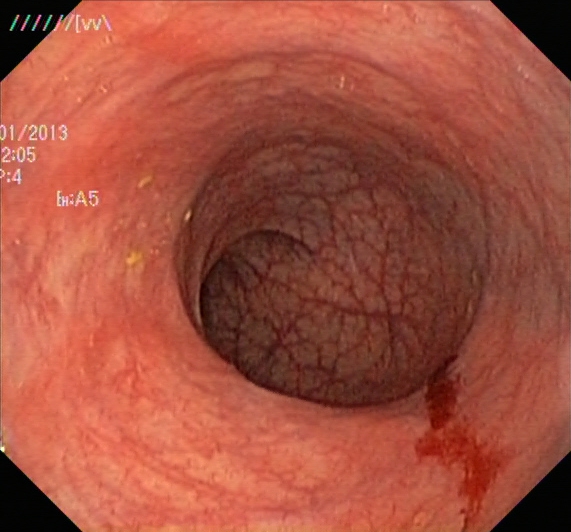{"modality": "lower-GI endoscopy", "finding": "ulcerative colitis, Mayo endoscopic subscore 1"}